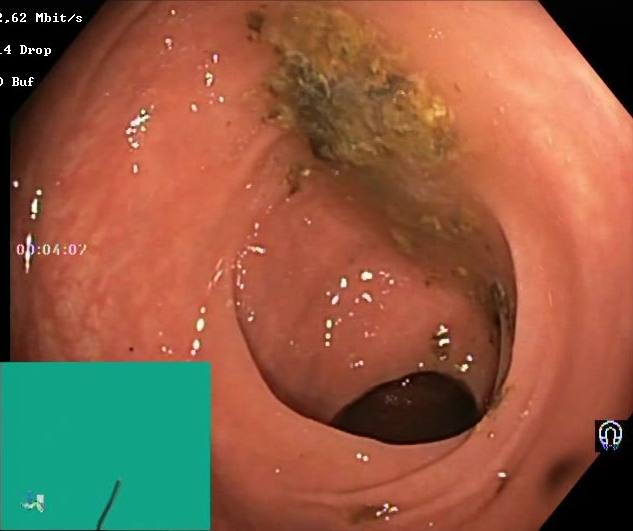Boston Bowel Preparation Scale score 0–1 (inadequate preparation).